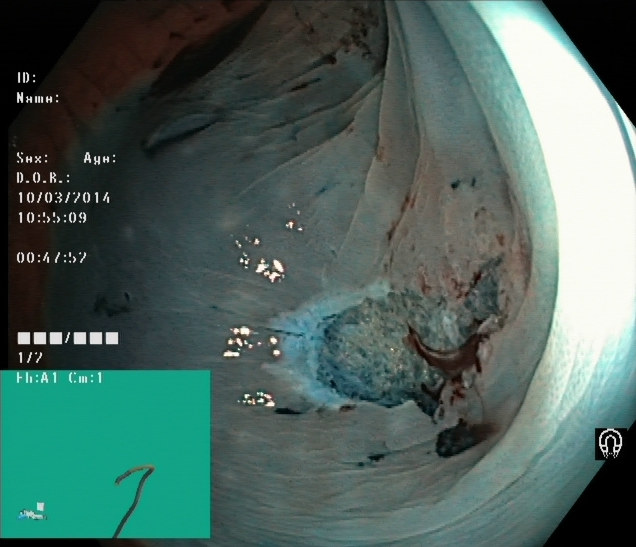PROCEDURE: Lower-GI endoscopy.
FINDINGS: Dyed resection margins (post-polypectomy).